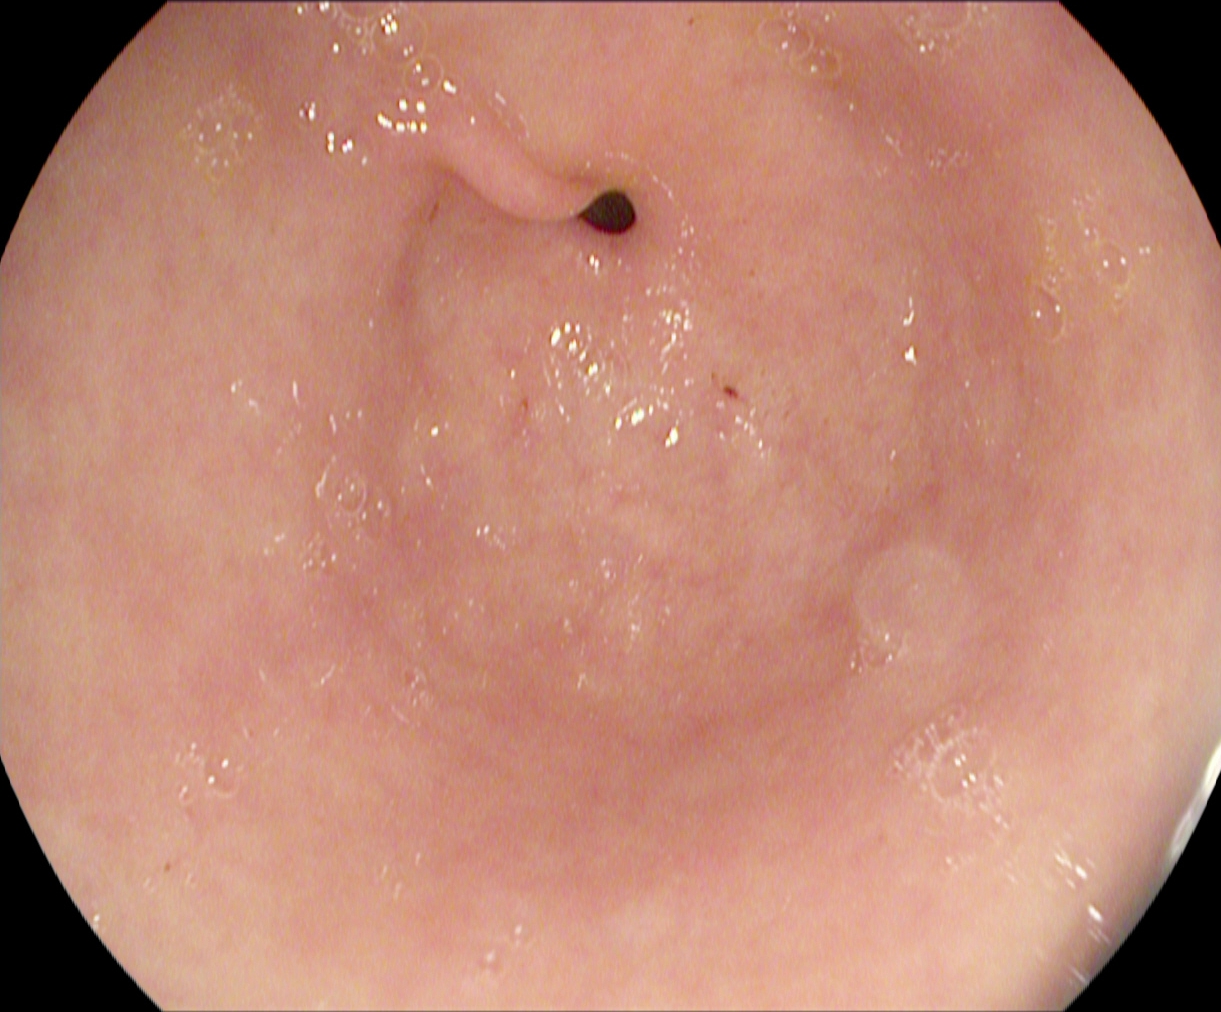This endoscopic image of the upper GI tract shows pylorus.